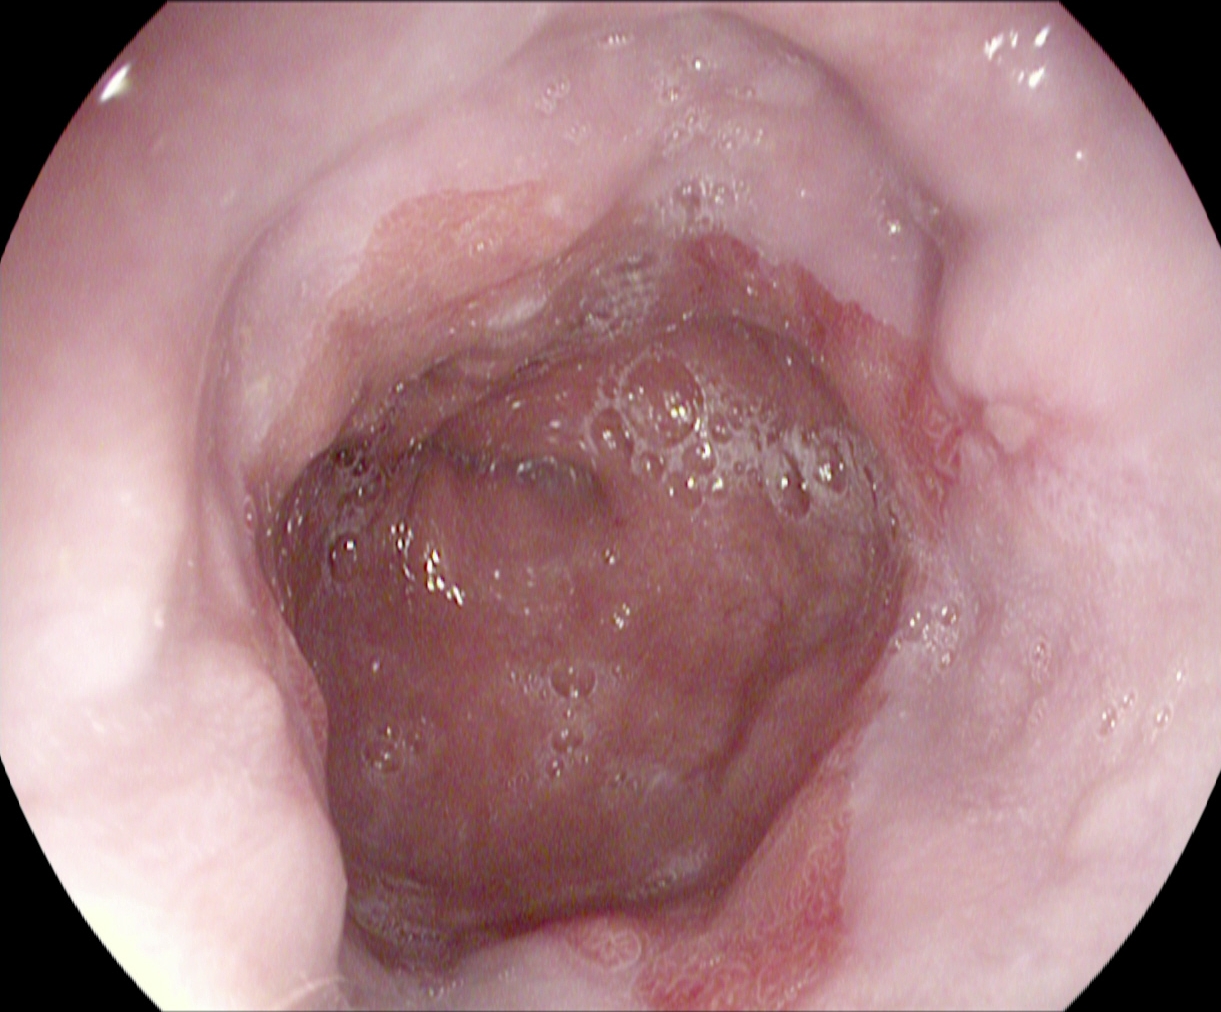PROCEDURE: Upper-GI endoscopy.
CATEGORY: Pathological finding.
FINDINGS: Reflux esophagitis, Los Angeles grade B–D.